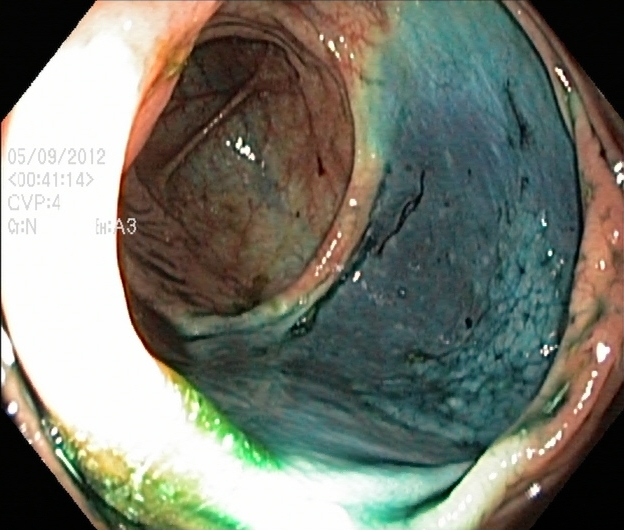This endoscopy frame shows dyed resection margins (post-polypectomy).